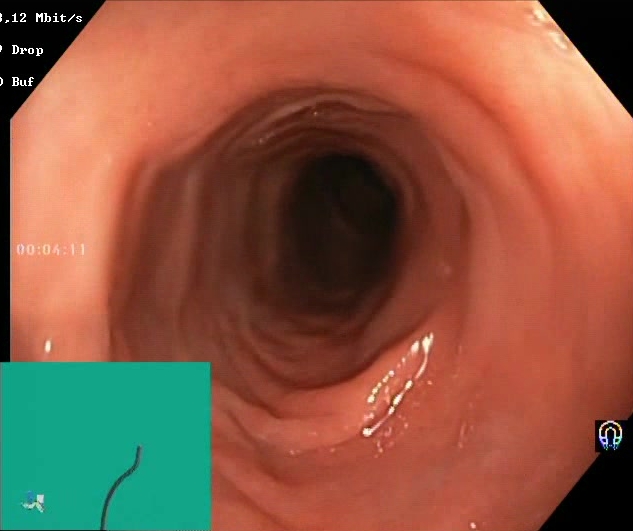PROCEDURE: Colonoscopy.
FINDINGS: Boston Bowel Preparation Scale score 2–3 (adequate preparation).